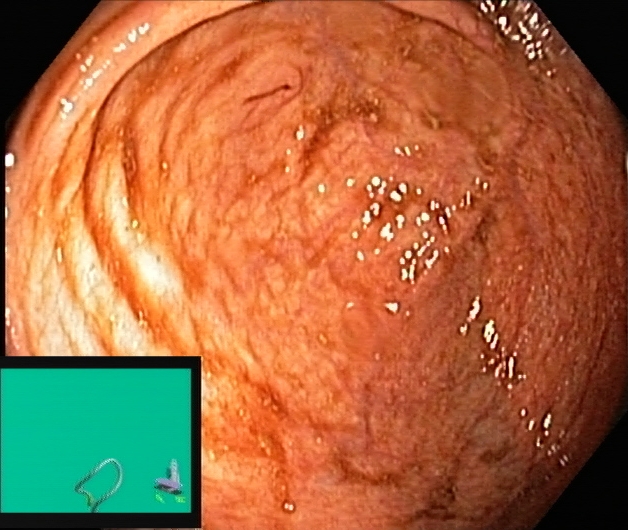cecum.